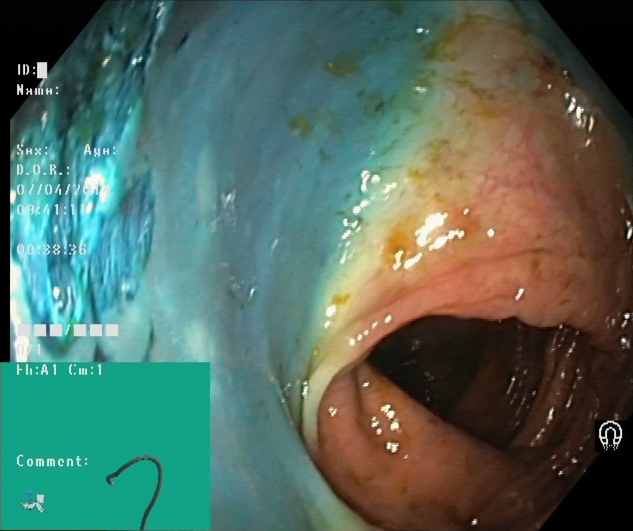PROCEDURE: Colonoscopy.
FINDINGS: Dyed resection margins (post-polypectomy).